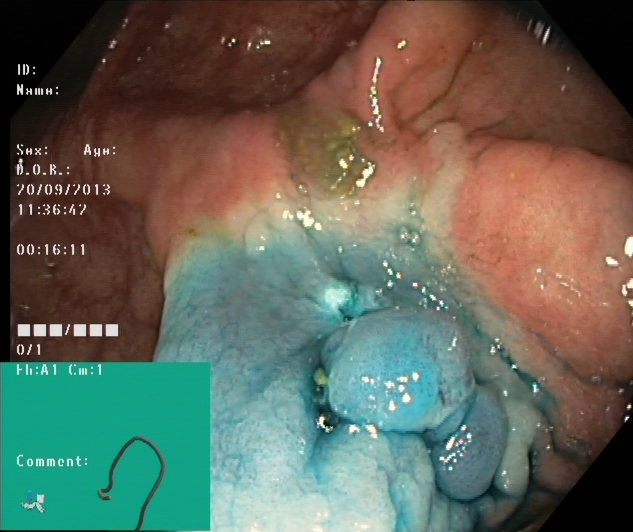Colonoscopy — dyed and lifted polyp (pre-resection).